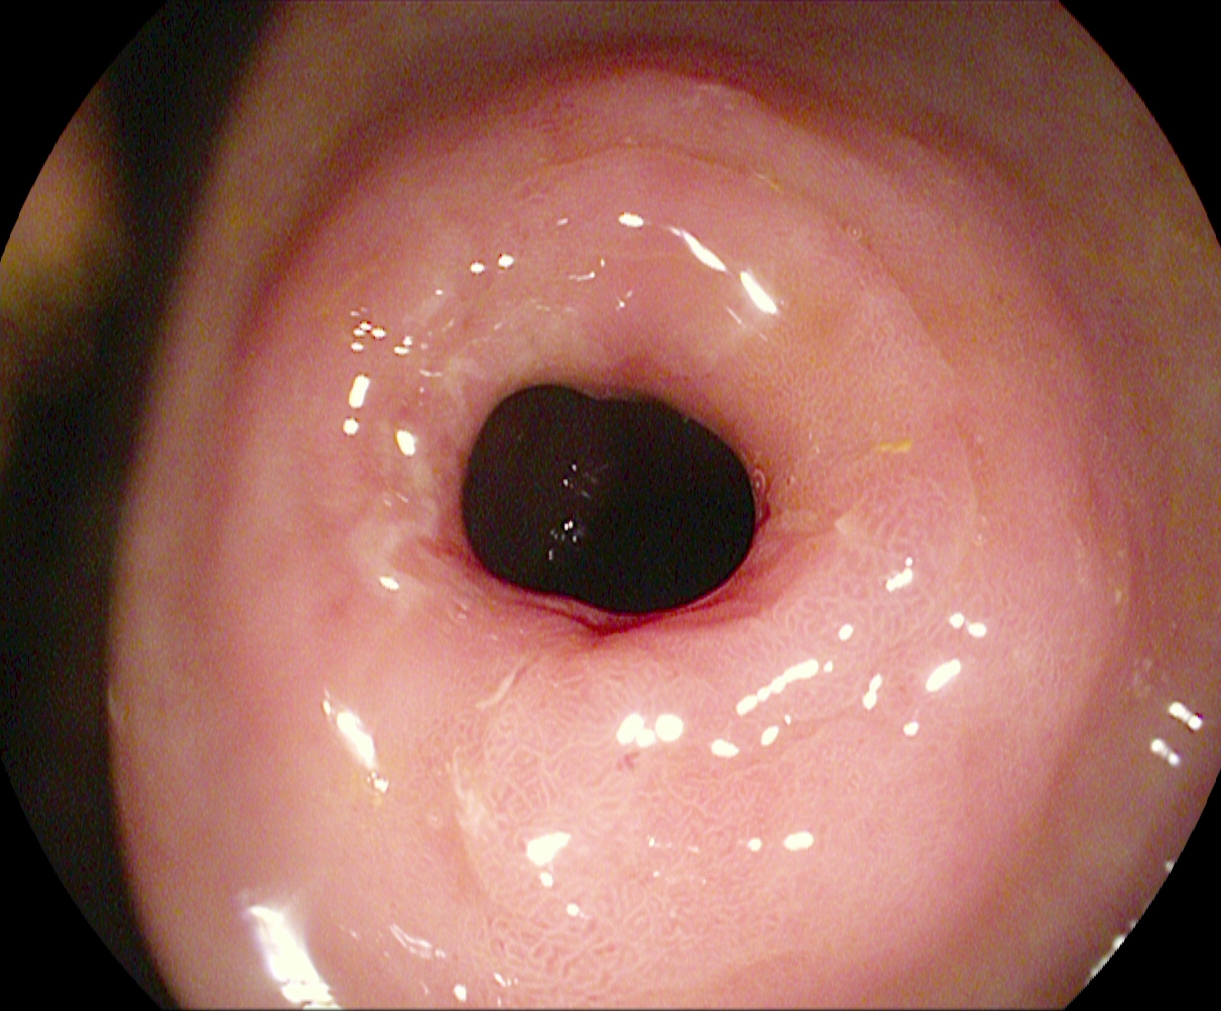Pylorus.